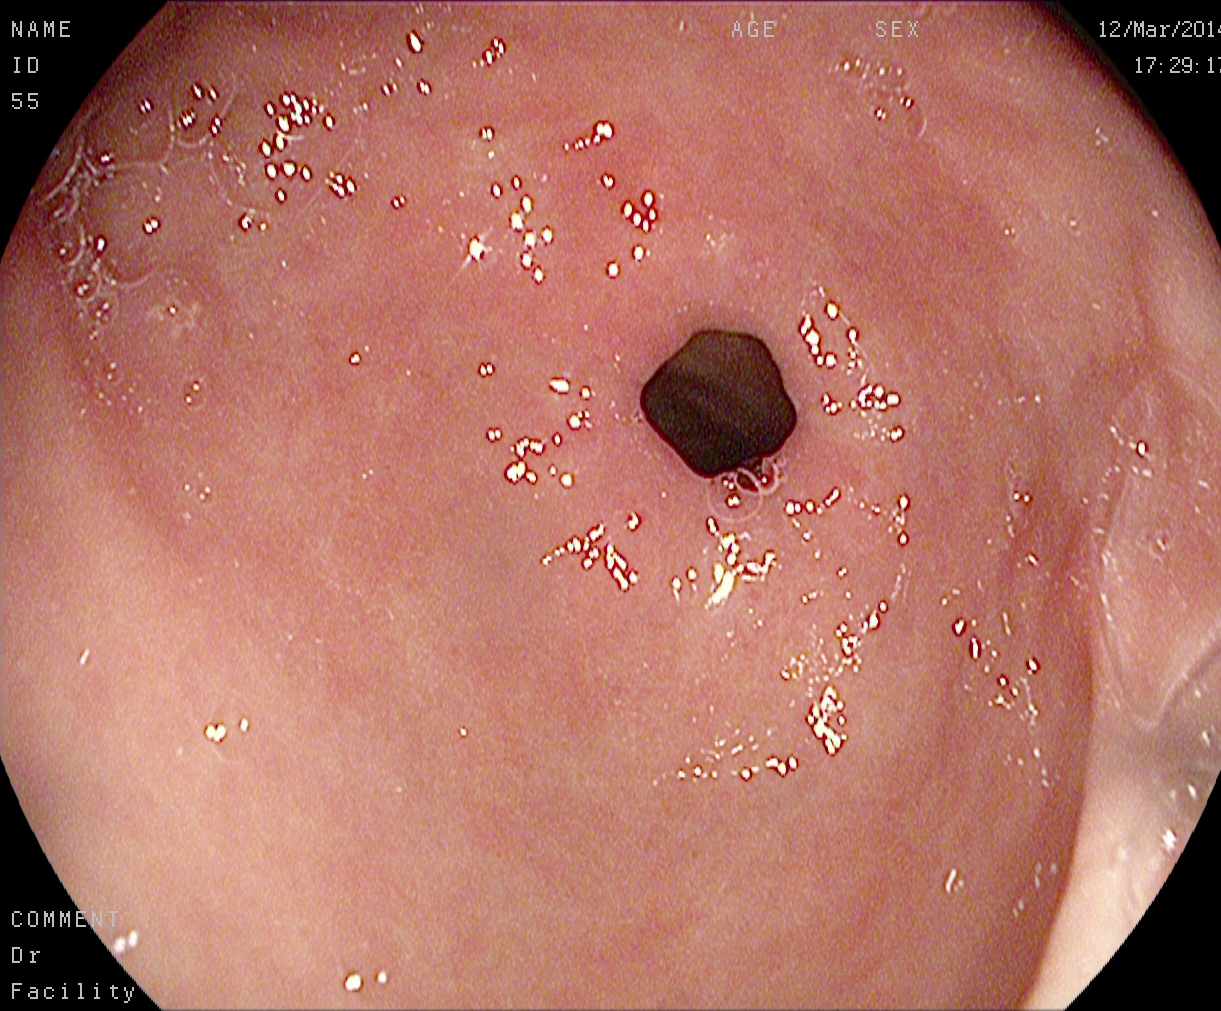Pylorus.